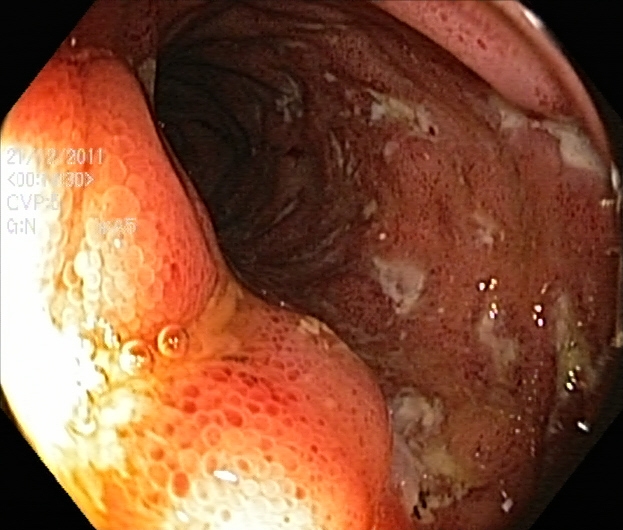Lower-GI endoscopy. Tract: lower GI tract. Pathological finding. Finding: ulcerative colitis, Mayo endoscopic subscore 3.